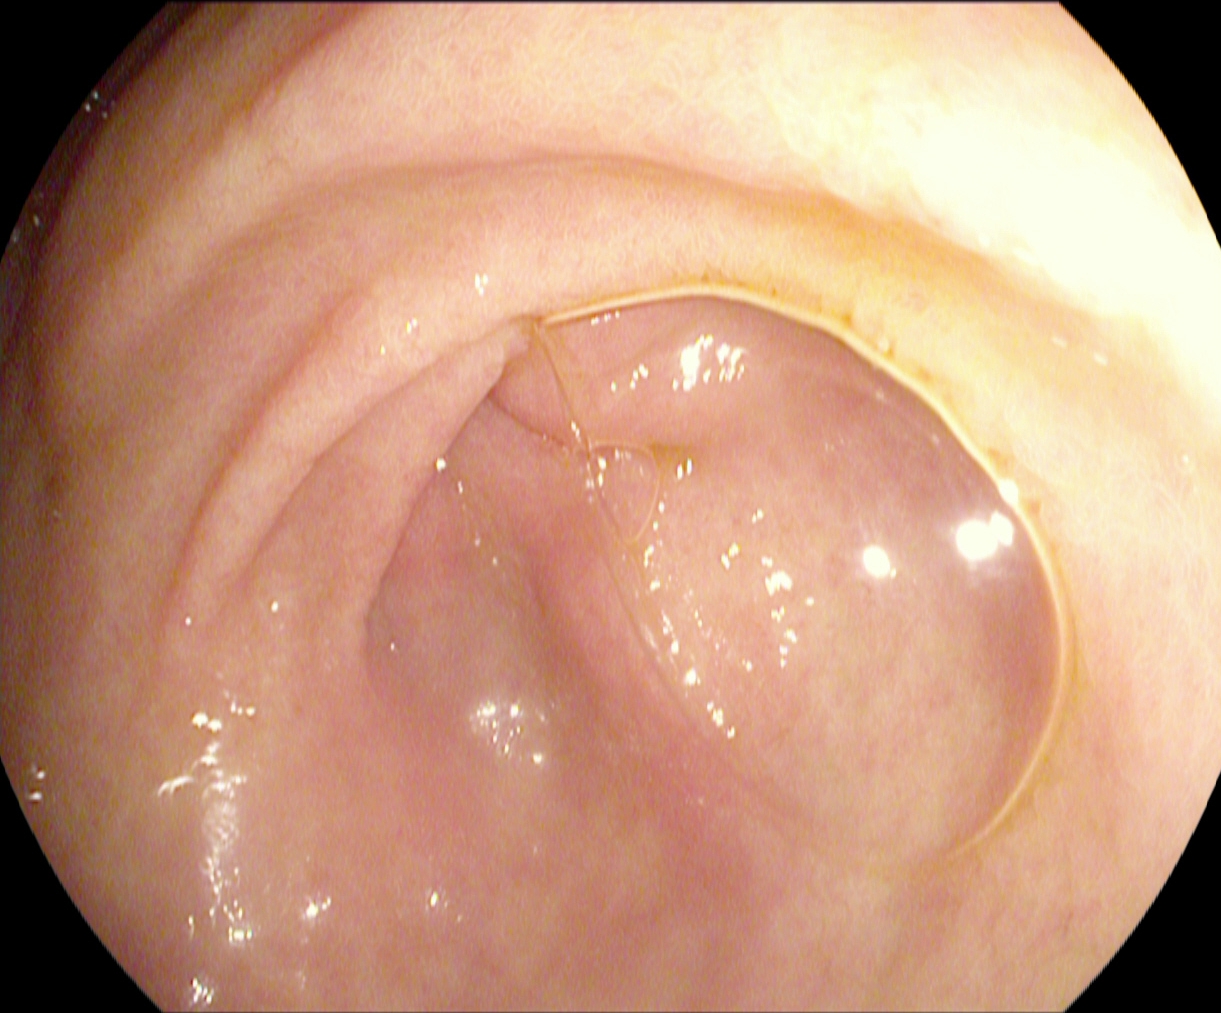{"modality": "esophagogastroduodenoscopy", "tract": "upper GI tract", "finding": "pylorus"}